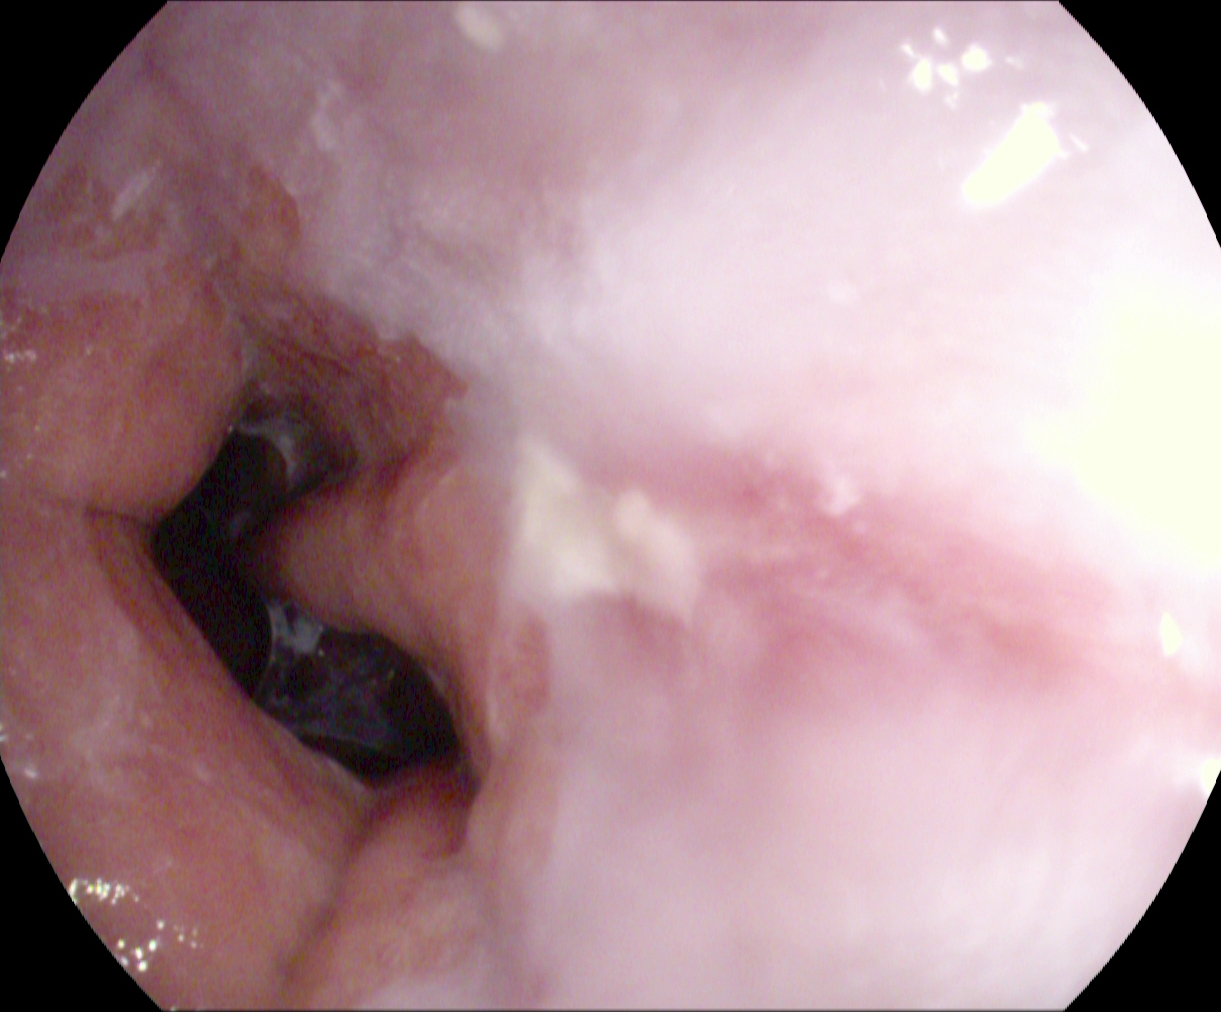EGD — reflux esophagitis, Los Angeles grade A.